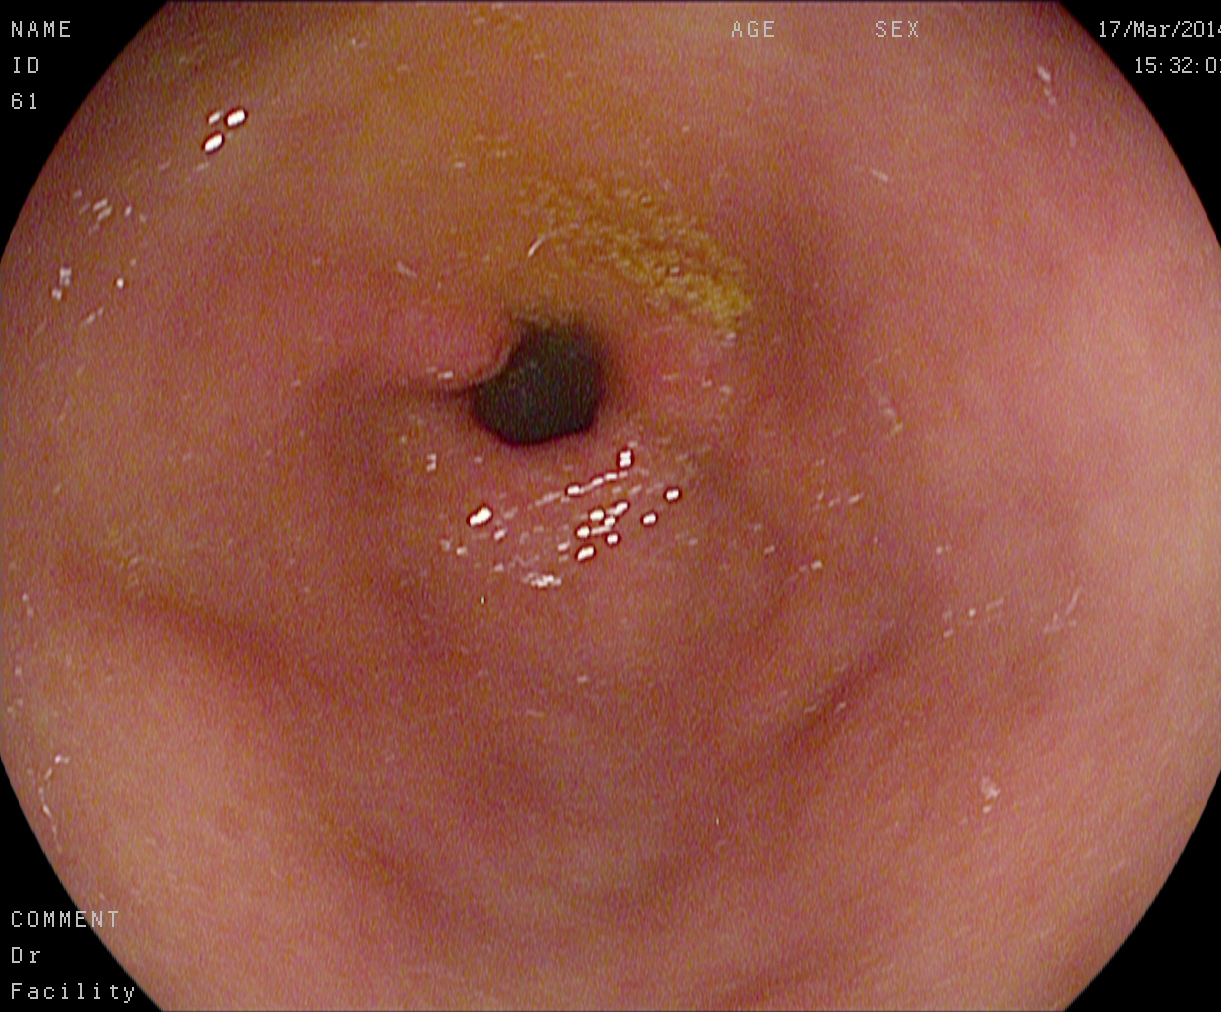{"modality": "EGD", "finding": "pylorus"}